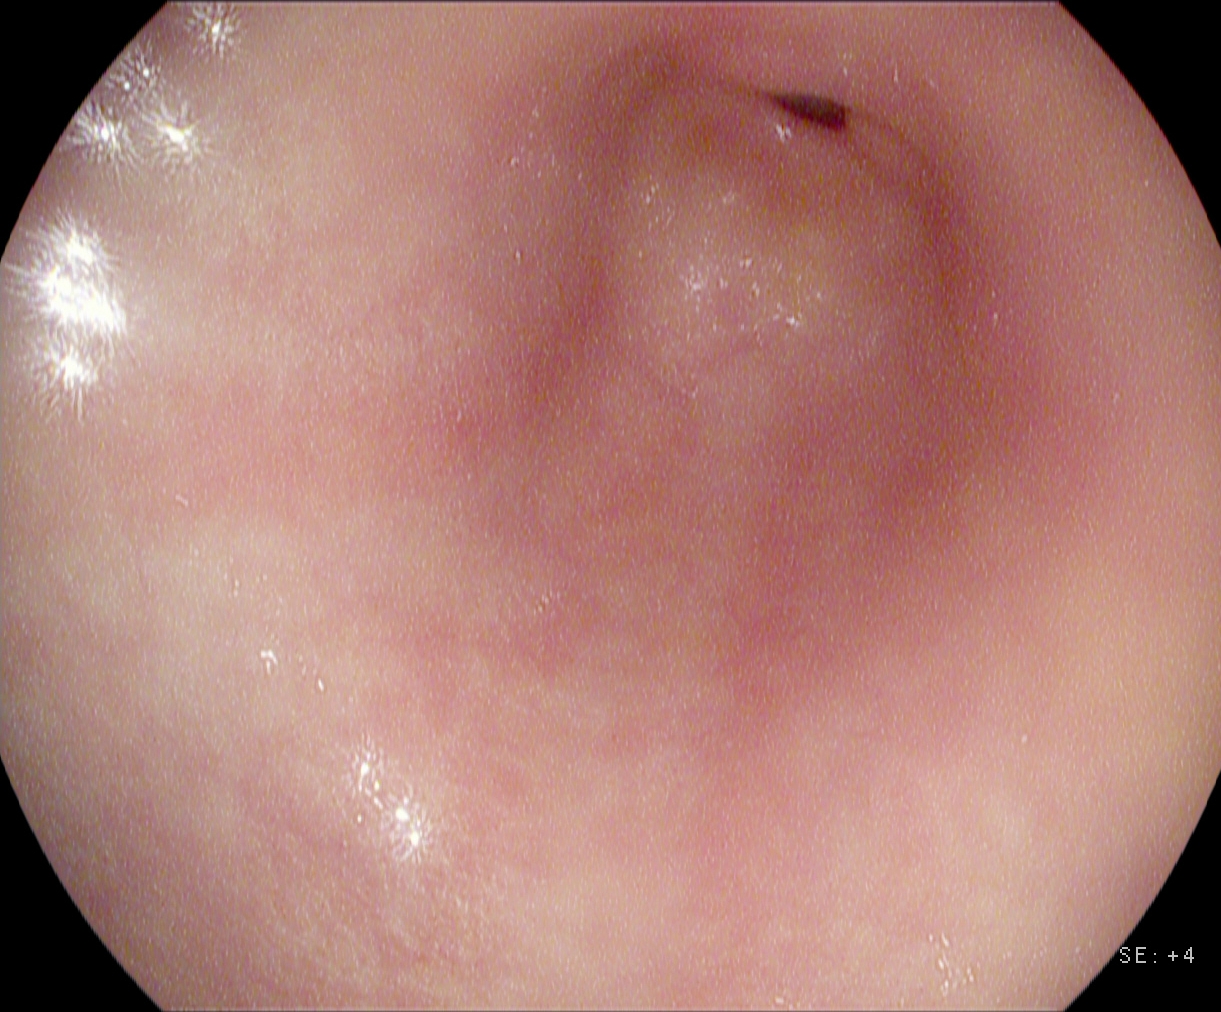EGD. Tract: upper GI tract. Anatomical landmark. Finding: pylorus.